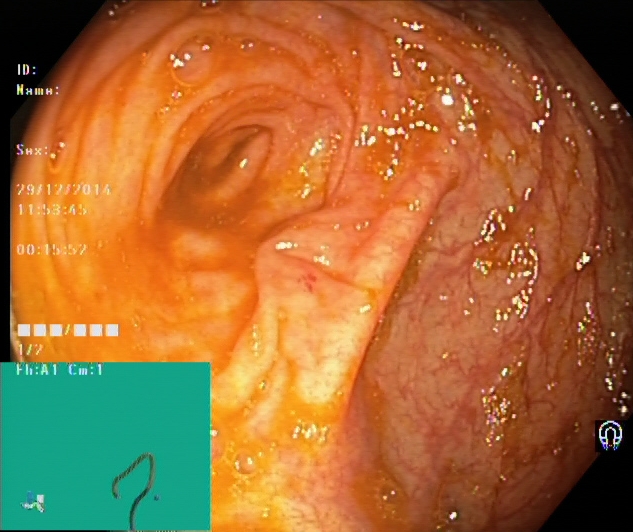modality: lower gastrointestinal endoscopy; tract: lower GI tract; finding: cecum